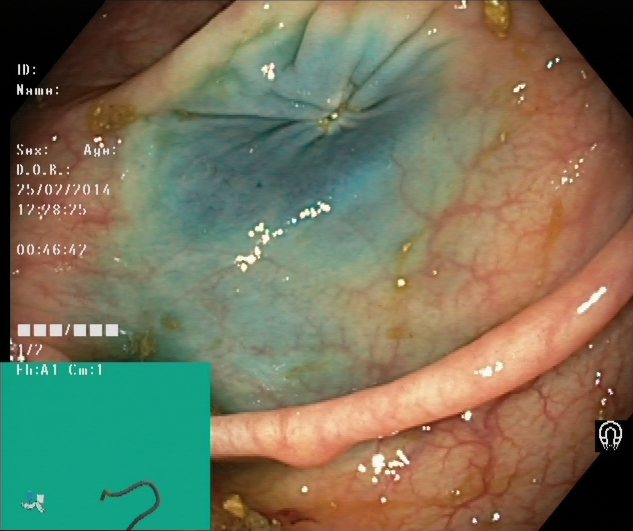This endoscopy frame of the lower GI tract shows dyed resection margins (post-polypectomy).